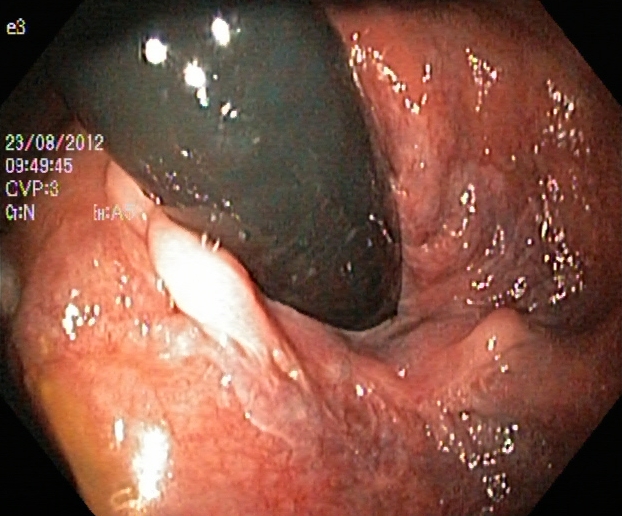Lower gastrointestinal endoscopy — rectum in retroflexion.